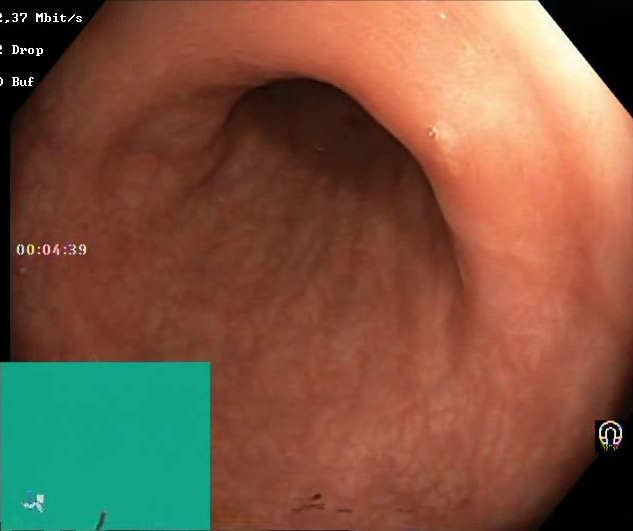Boston Bowel Preparation Scale score 2–3 (adequate preparation).